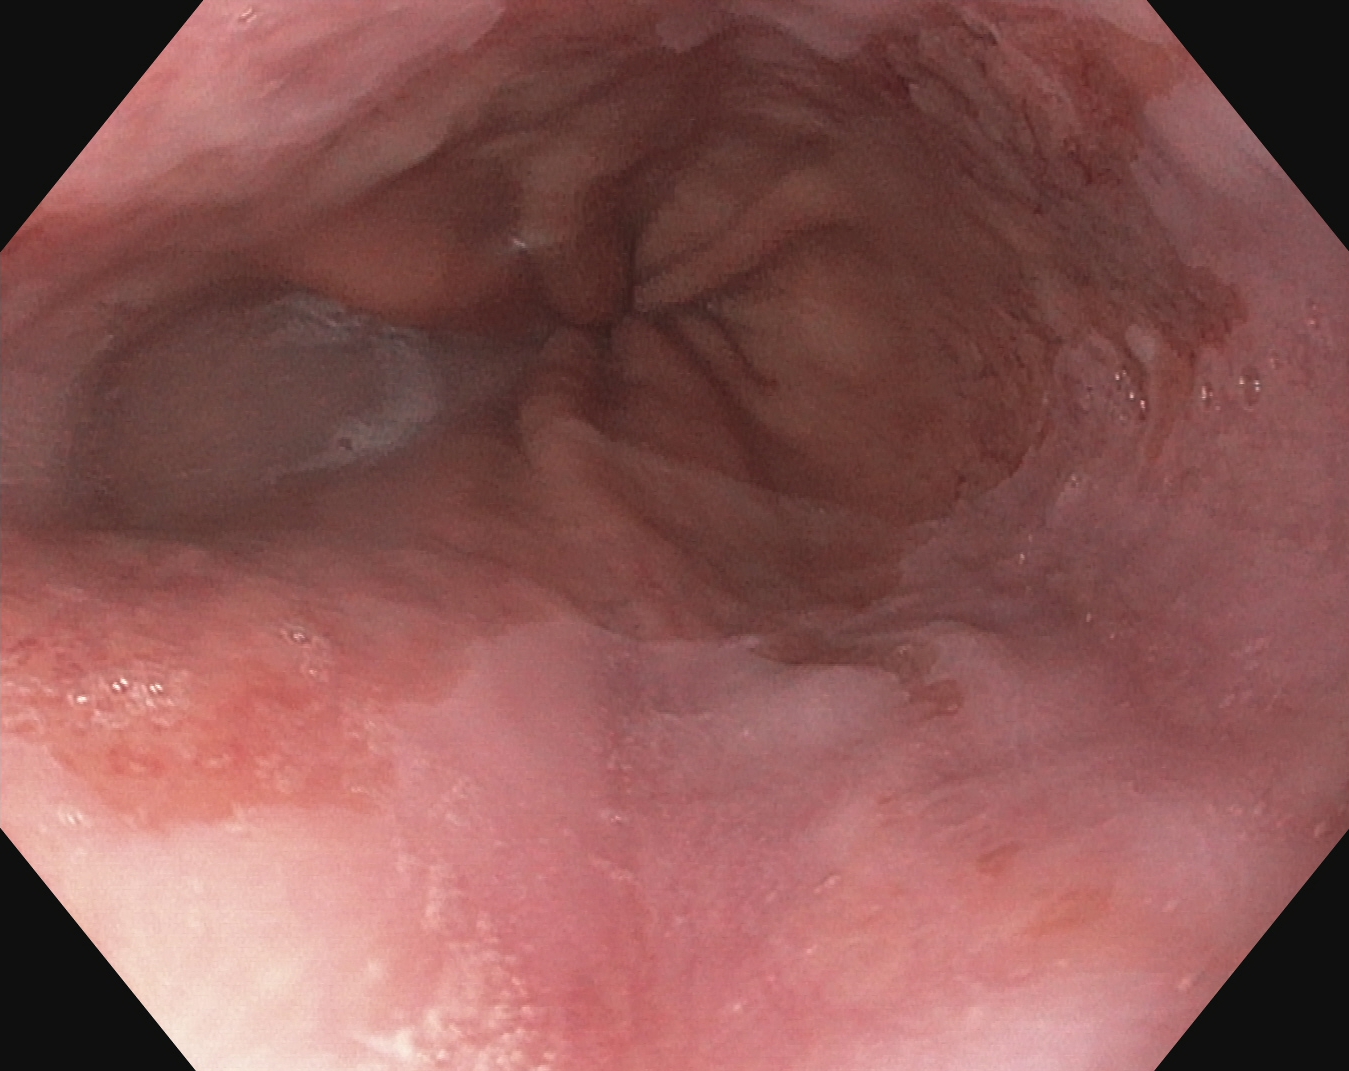modality: esophagogastroduodenoscopy | finding: Barrett's esophagus, short segment